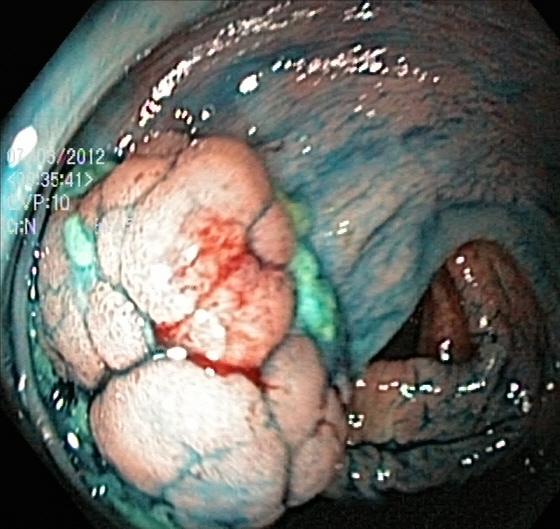Colonoscopy — dyed and lifted polyp (pre-resection).